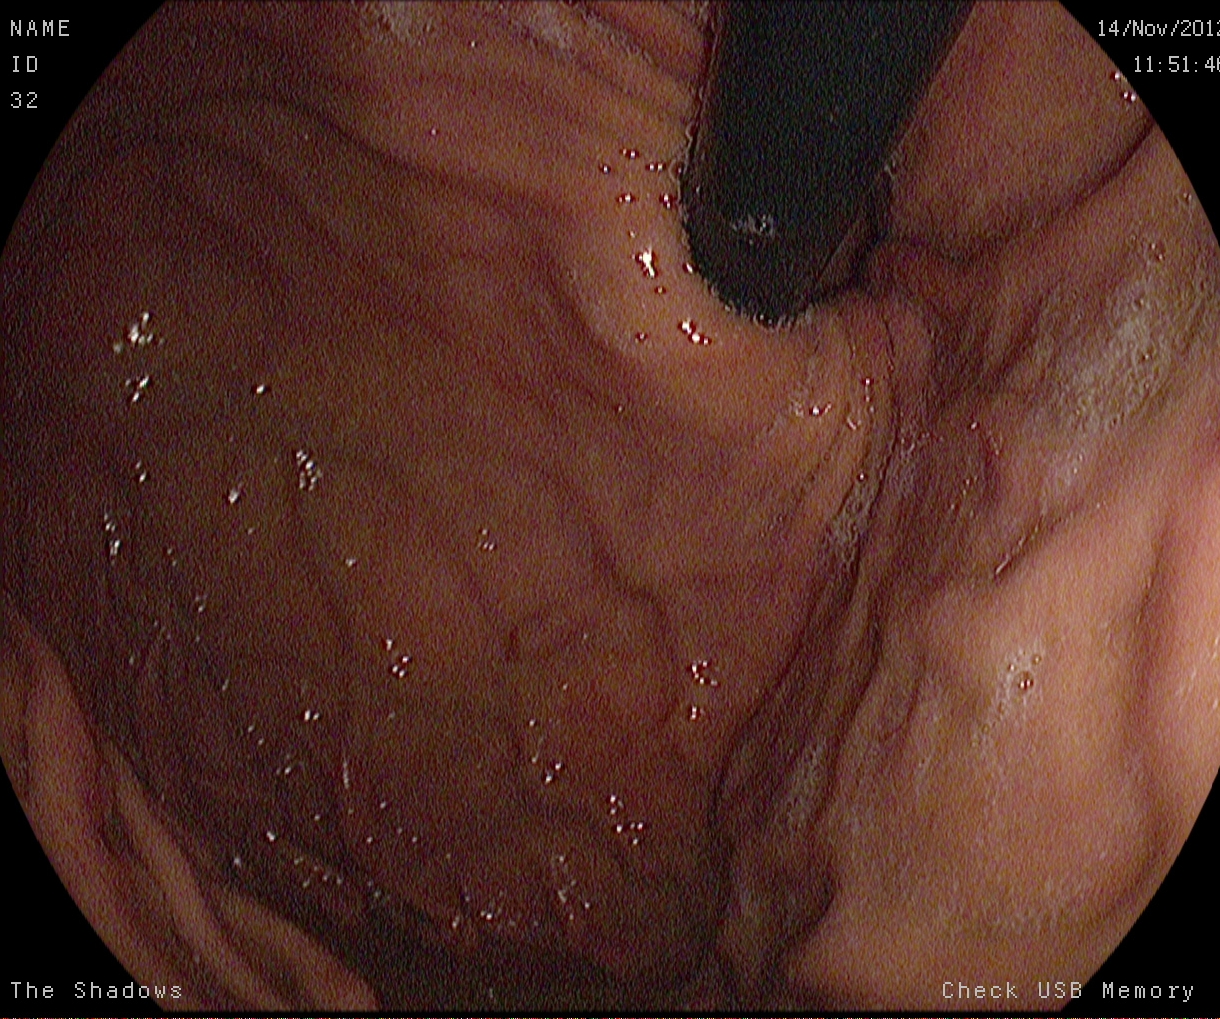Endoscopic frame showing stomach in retroflexion.